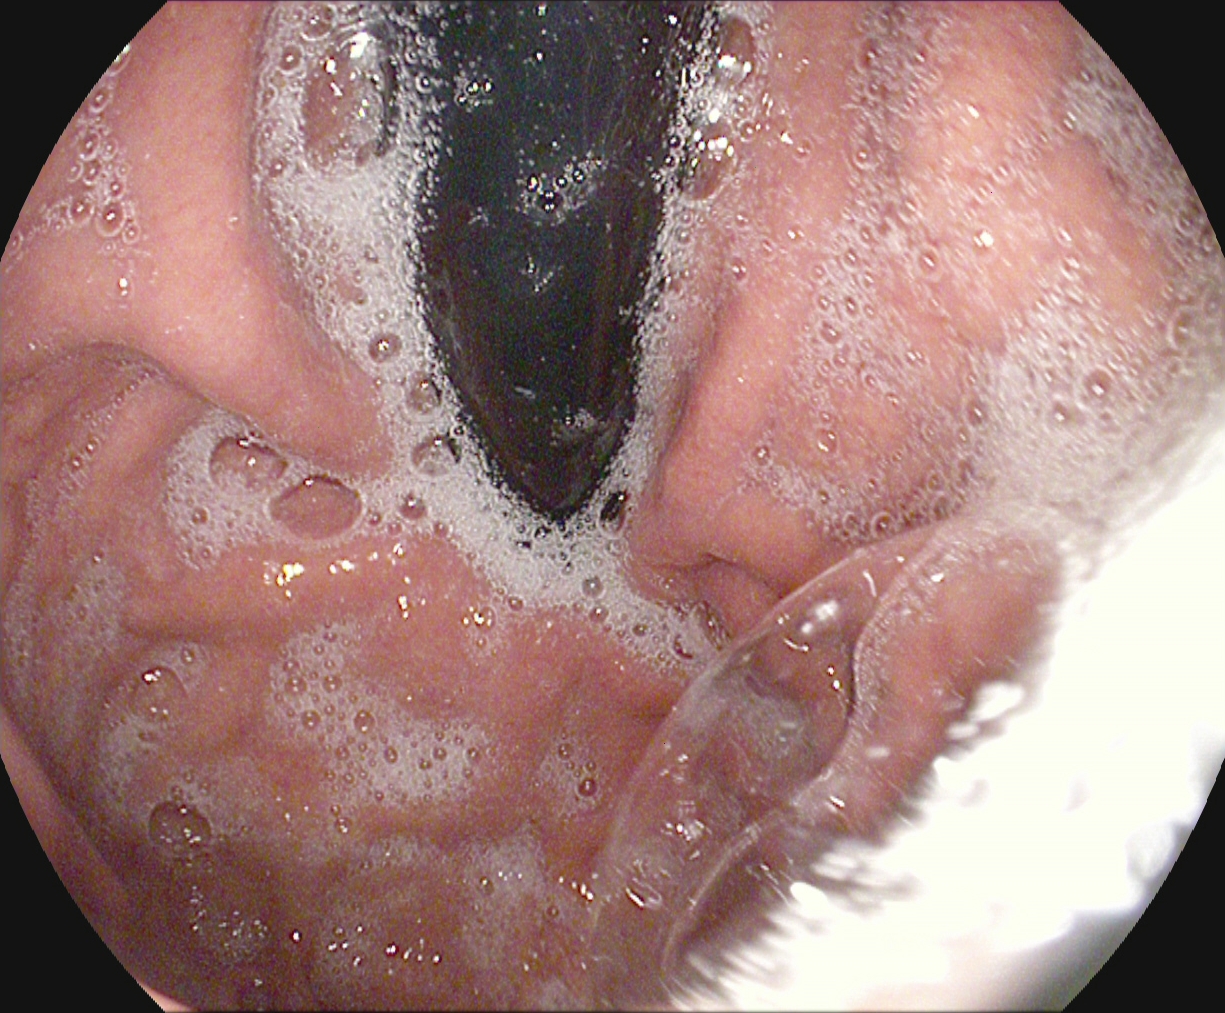This endoscopic image shows stomach in retroflexion.